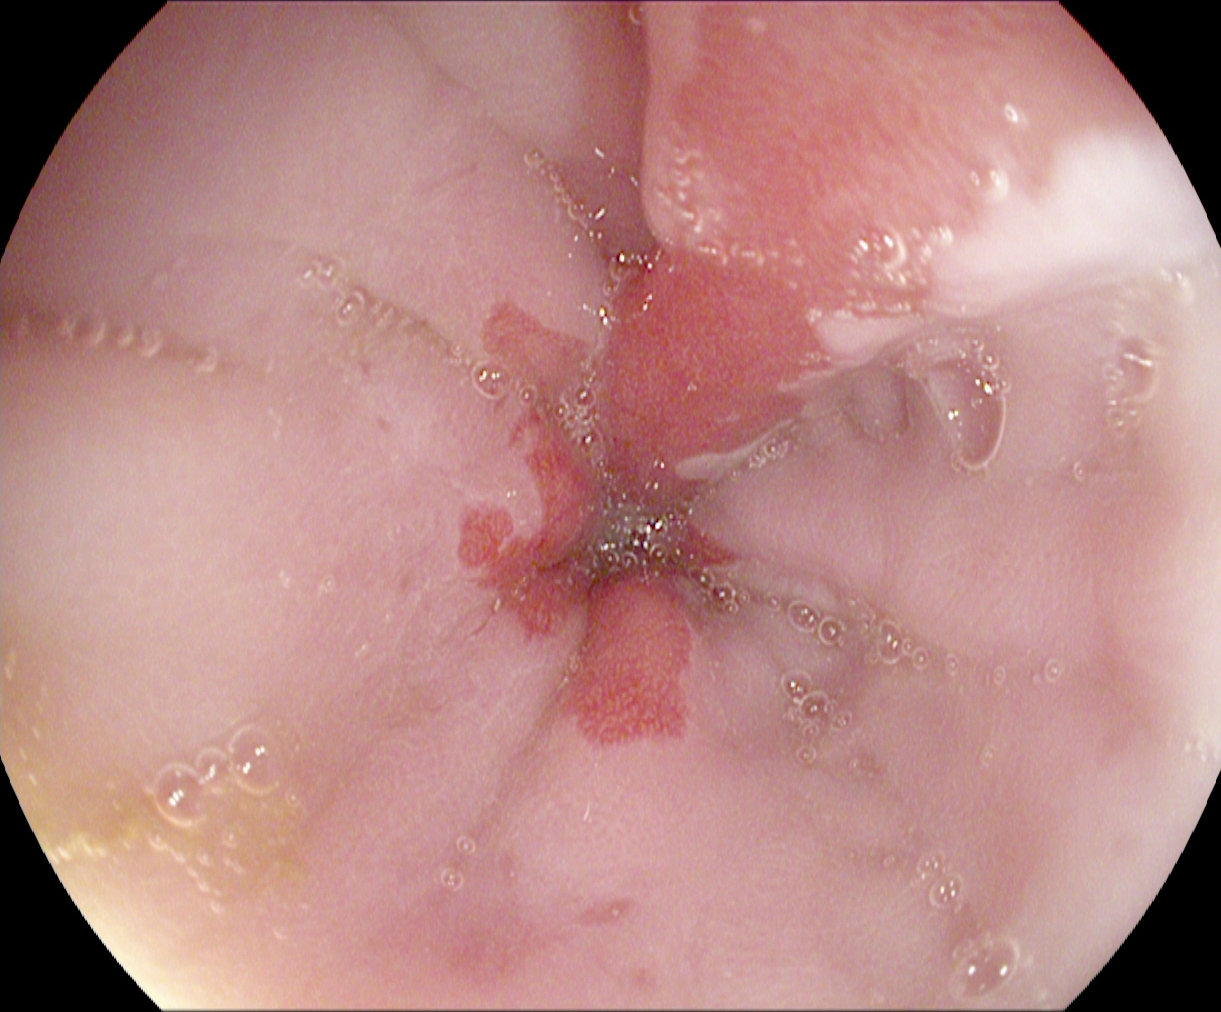Upper-GI endoscopy — reflux esophagitis, Los Angeles grade B–D.